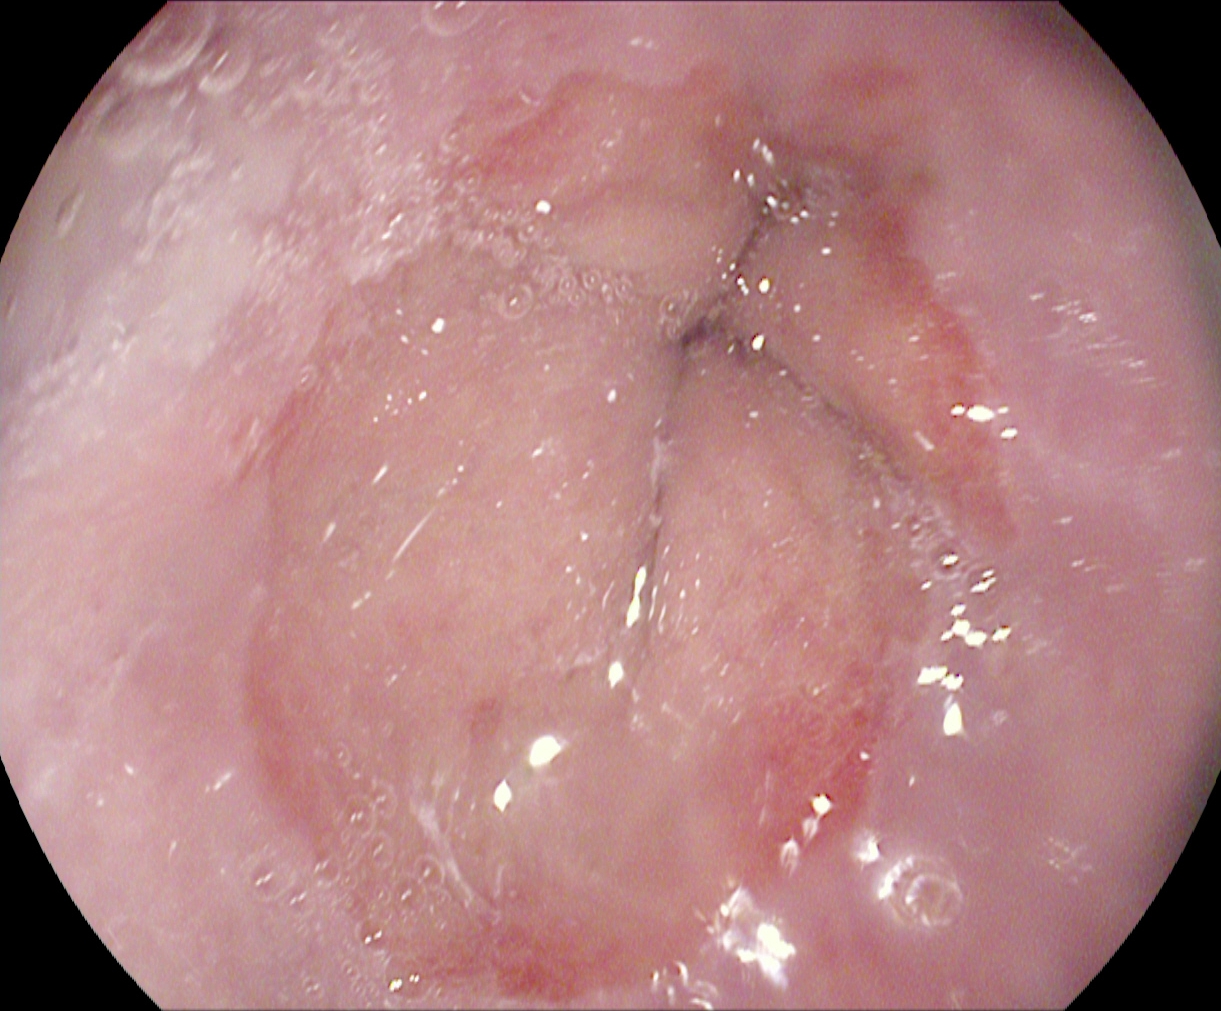PROCEDURE: EGD.
CATEGORY: Anatomical landmark.
FINDINGS: Z-line (gastroesophageal junction).